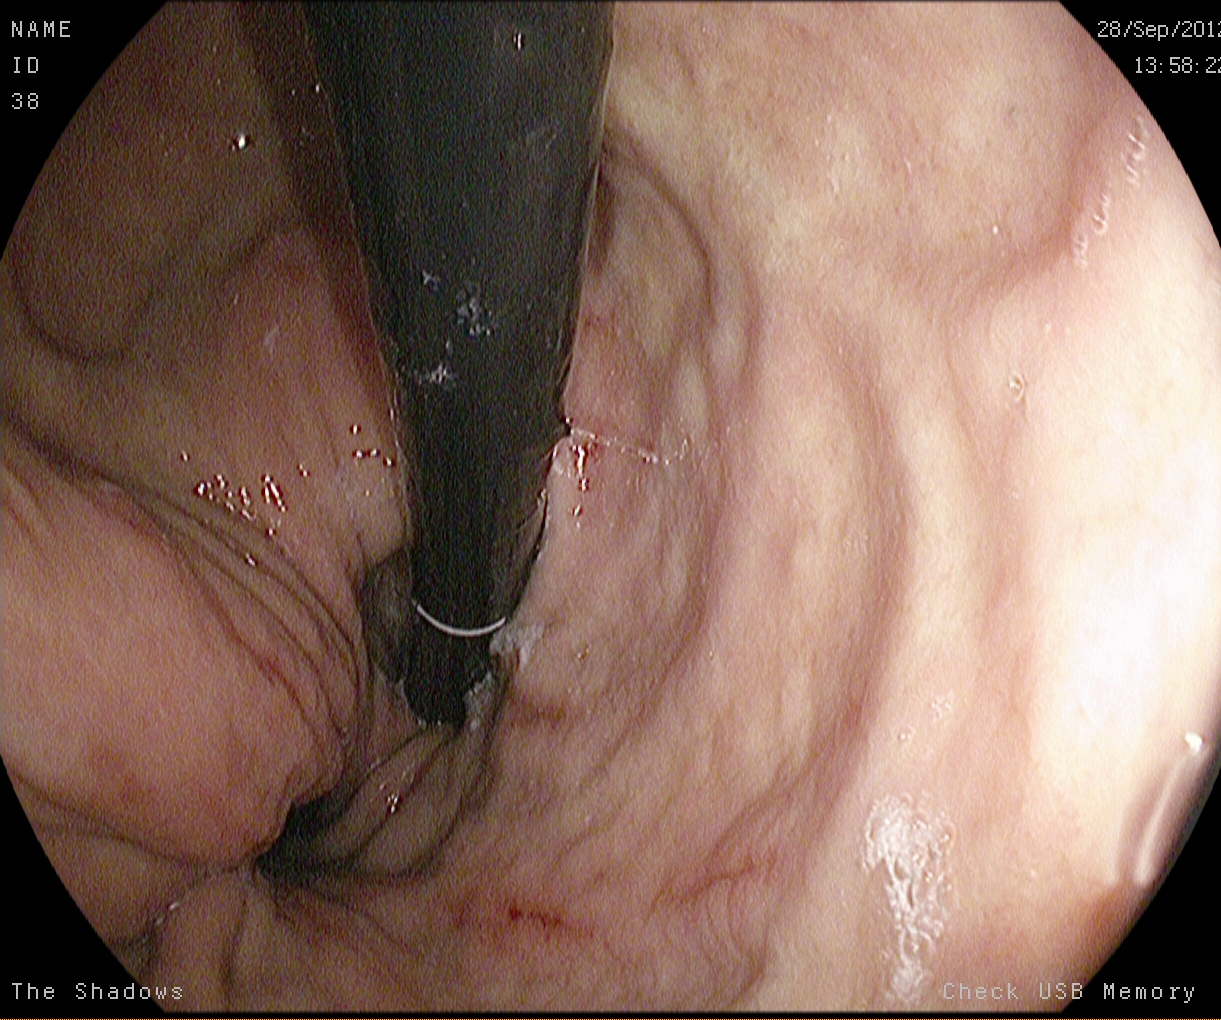modality: gastroscopy
finding: stomach in retroflexion